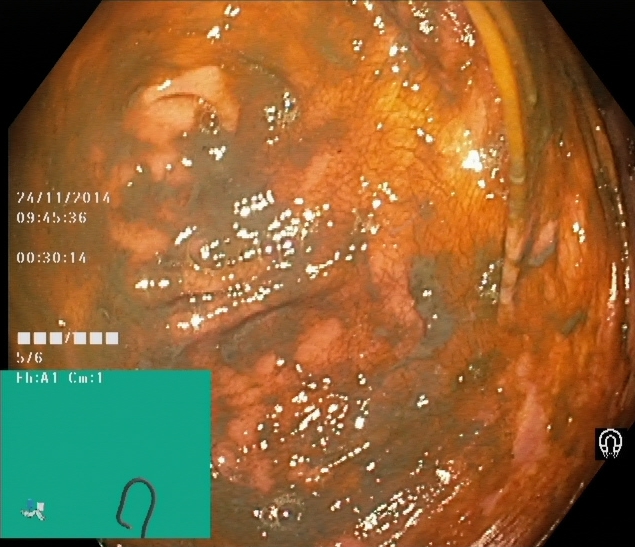PROCEDURE: Lower gastrointestinal endoscopy.
FINDINGS: Cecum.